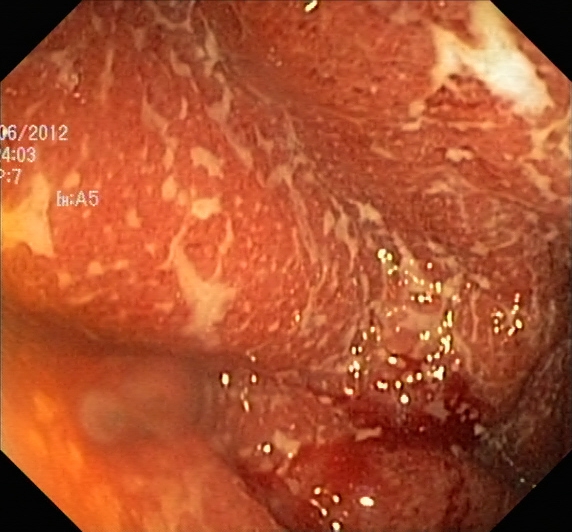Gastrointestinal endoscopy image of the lower GI tract showing ulcerative colitis, Mayo endoscopic subscore 2.